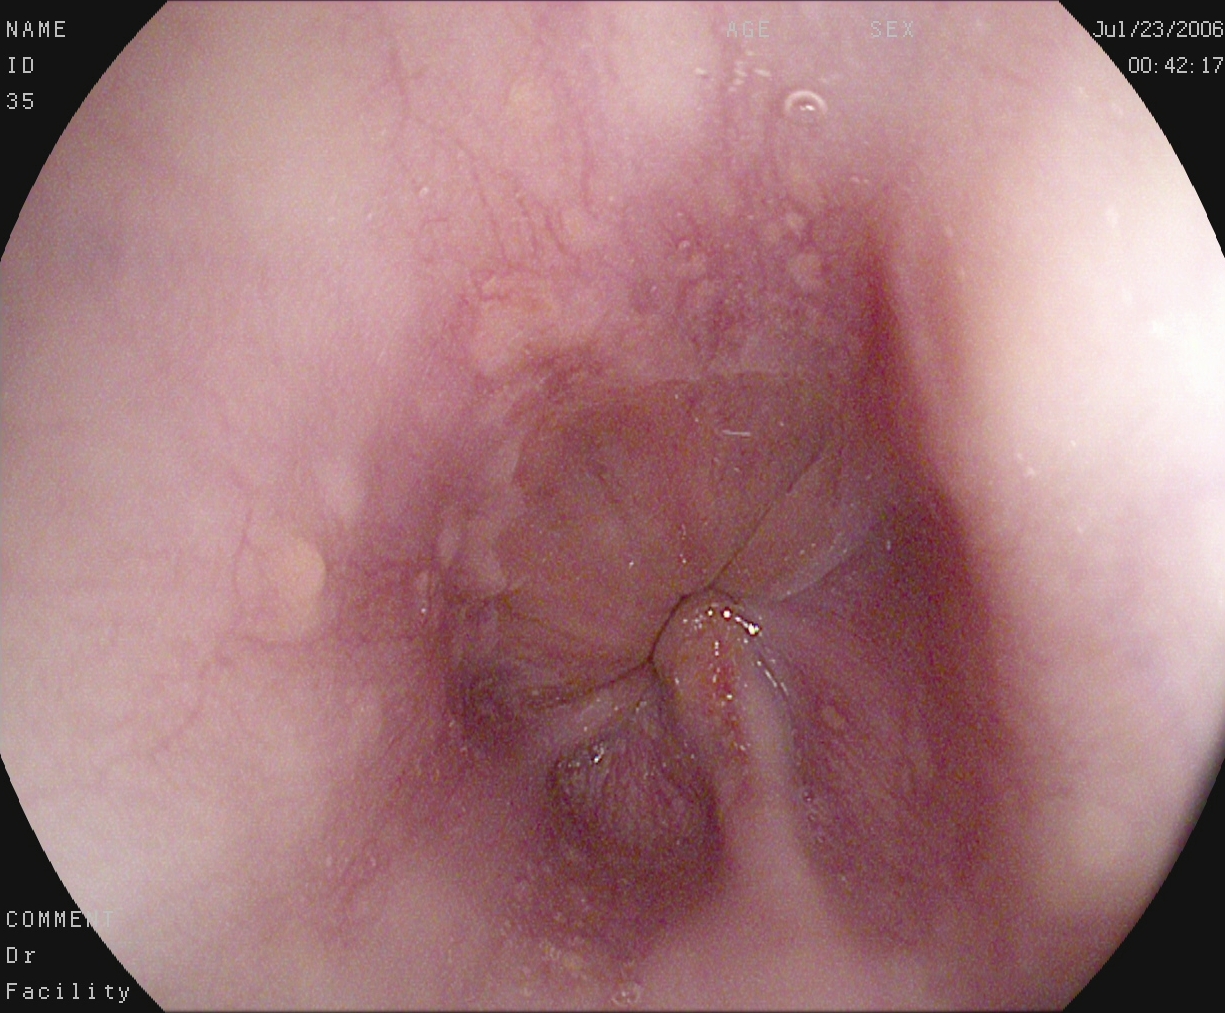Upper-GI endoscopy — reflux esophagitis, Los Angeles grade A.